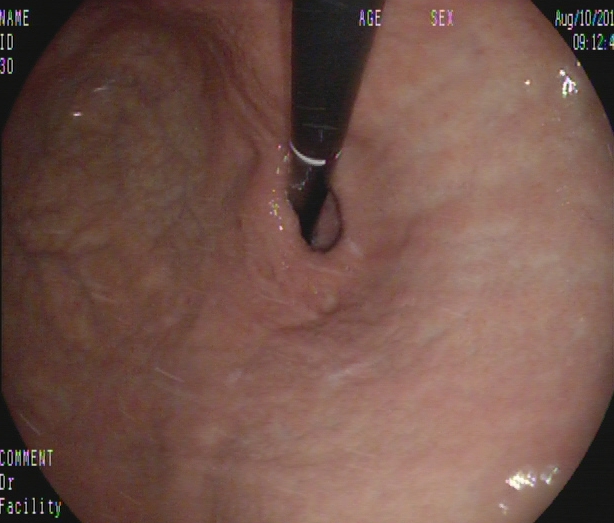Upper-GI endoscopy — stomach in retroflexion.